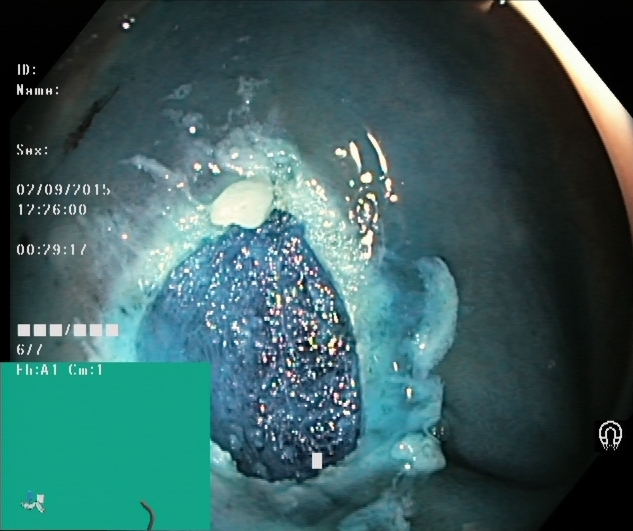{"modality": "lower-GI endoscopy", "category": "therapeutic intervention", "finding": "dyed resection margins (post-polypectomy)"}